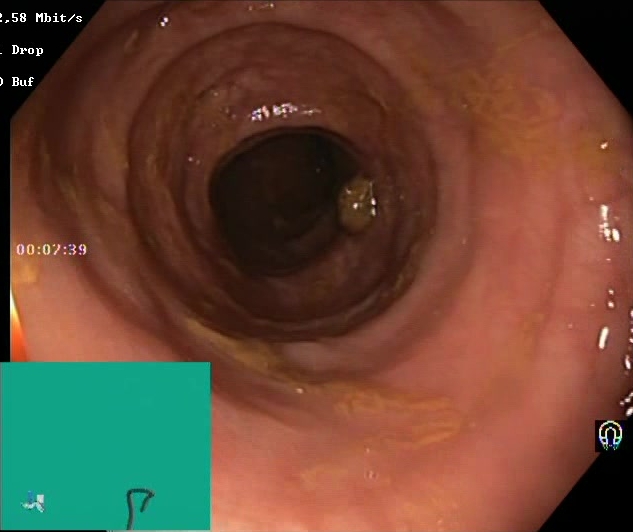{"modality": "colonoscopy", "tract": "lower GI tract", "finding": "Boston Bowel Preparation Scale score 2\u20133 (adequate preparation)"}